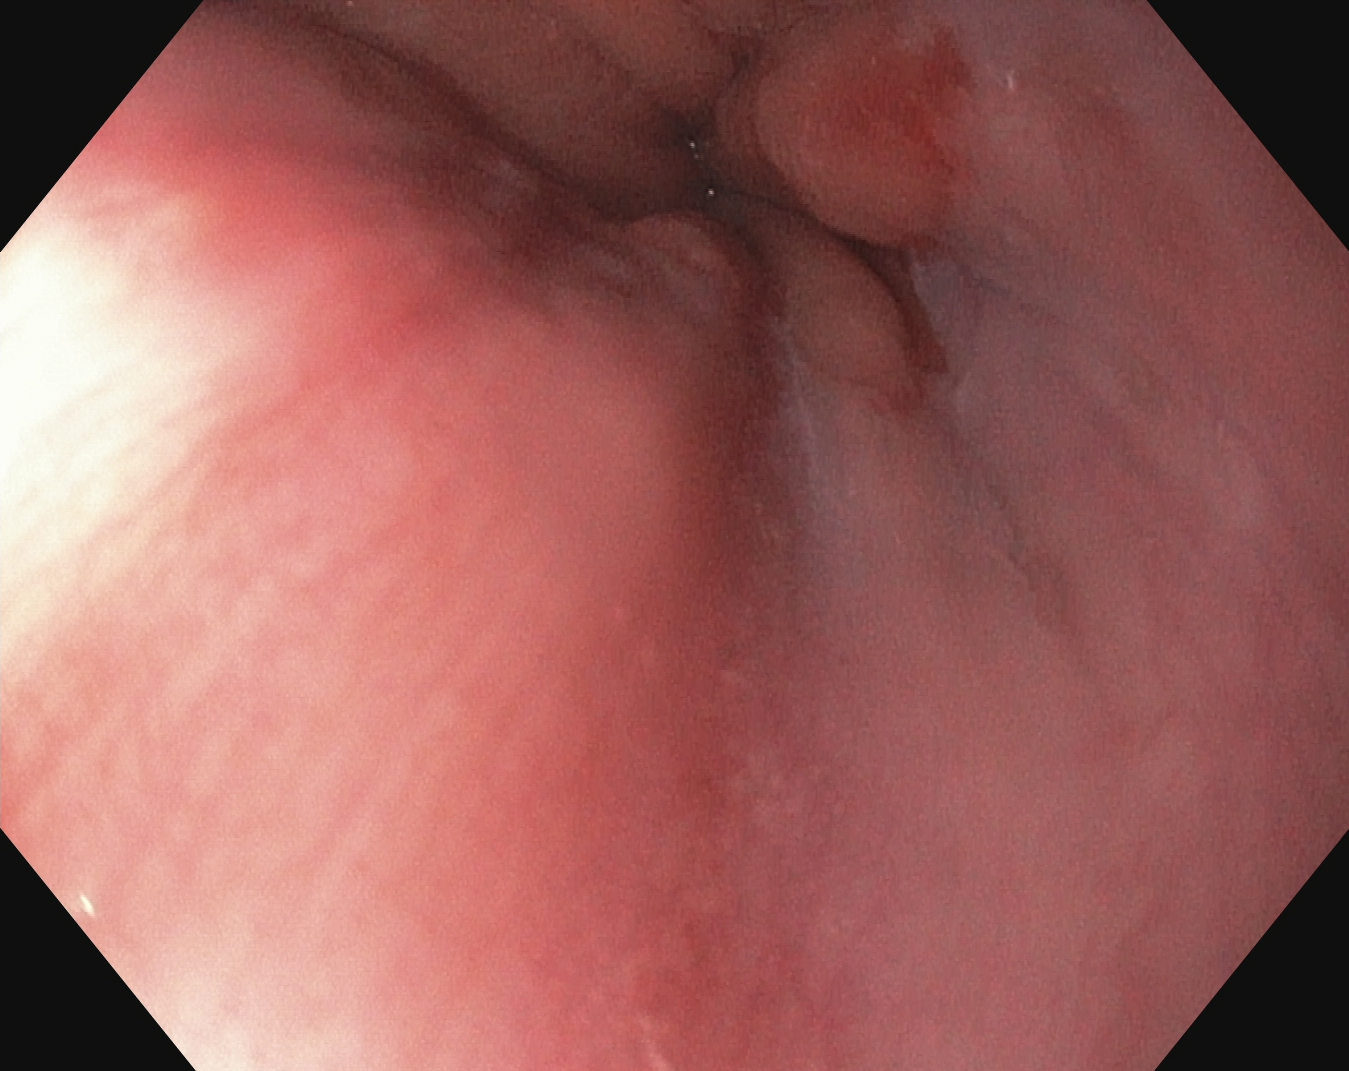PROCEDURE: Gastroscopy.
CATEGORY: Pathological finding.
FINDINGS: Reflux esophagitis, LA grade A.